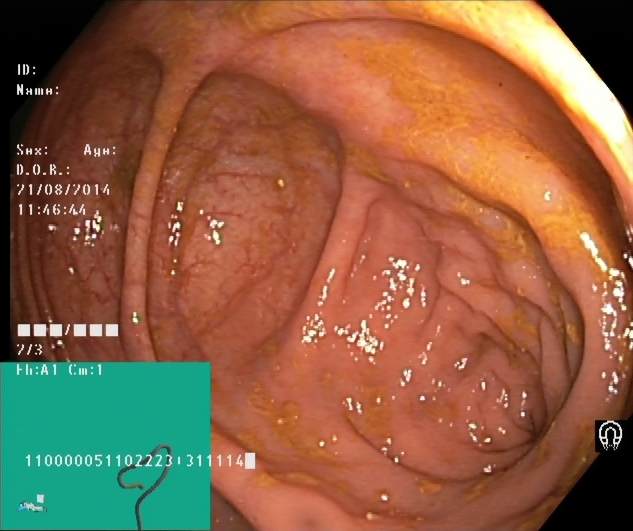This endoscopic image of the lower GI tract shows cecum.